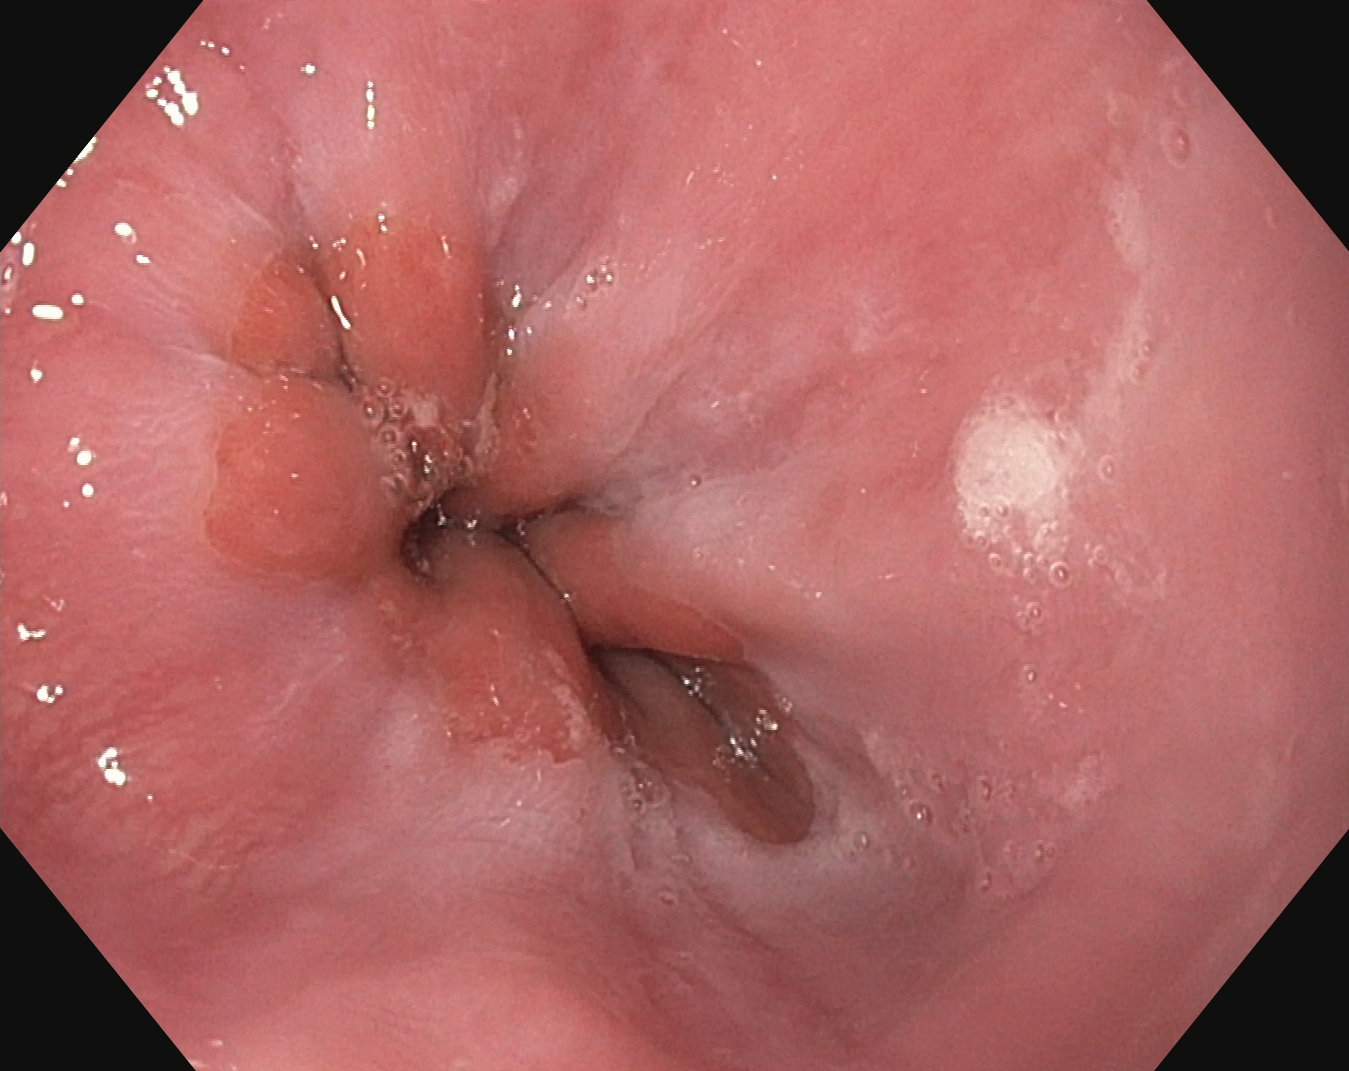modality: esophagogastroduodenoscopy
tract: upper GI tract
finding: Z-line (gastroesophageal junction)